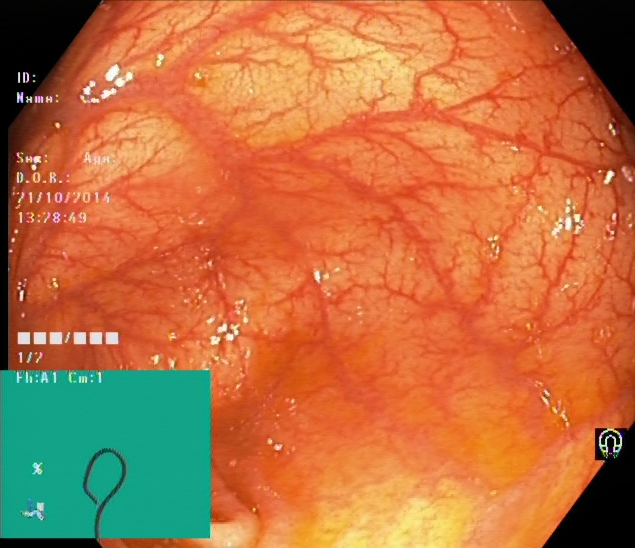Colonoscopy. Tract: lower GI tract. Finding: cecum.